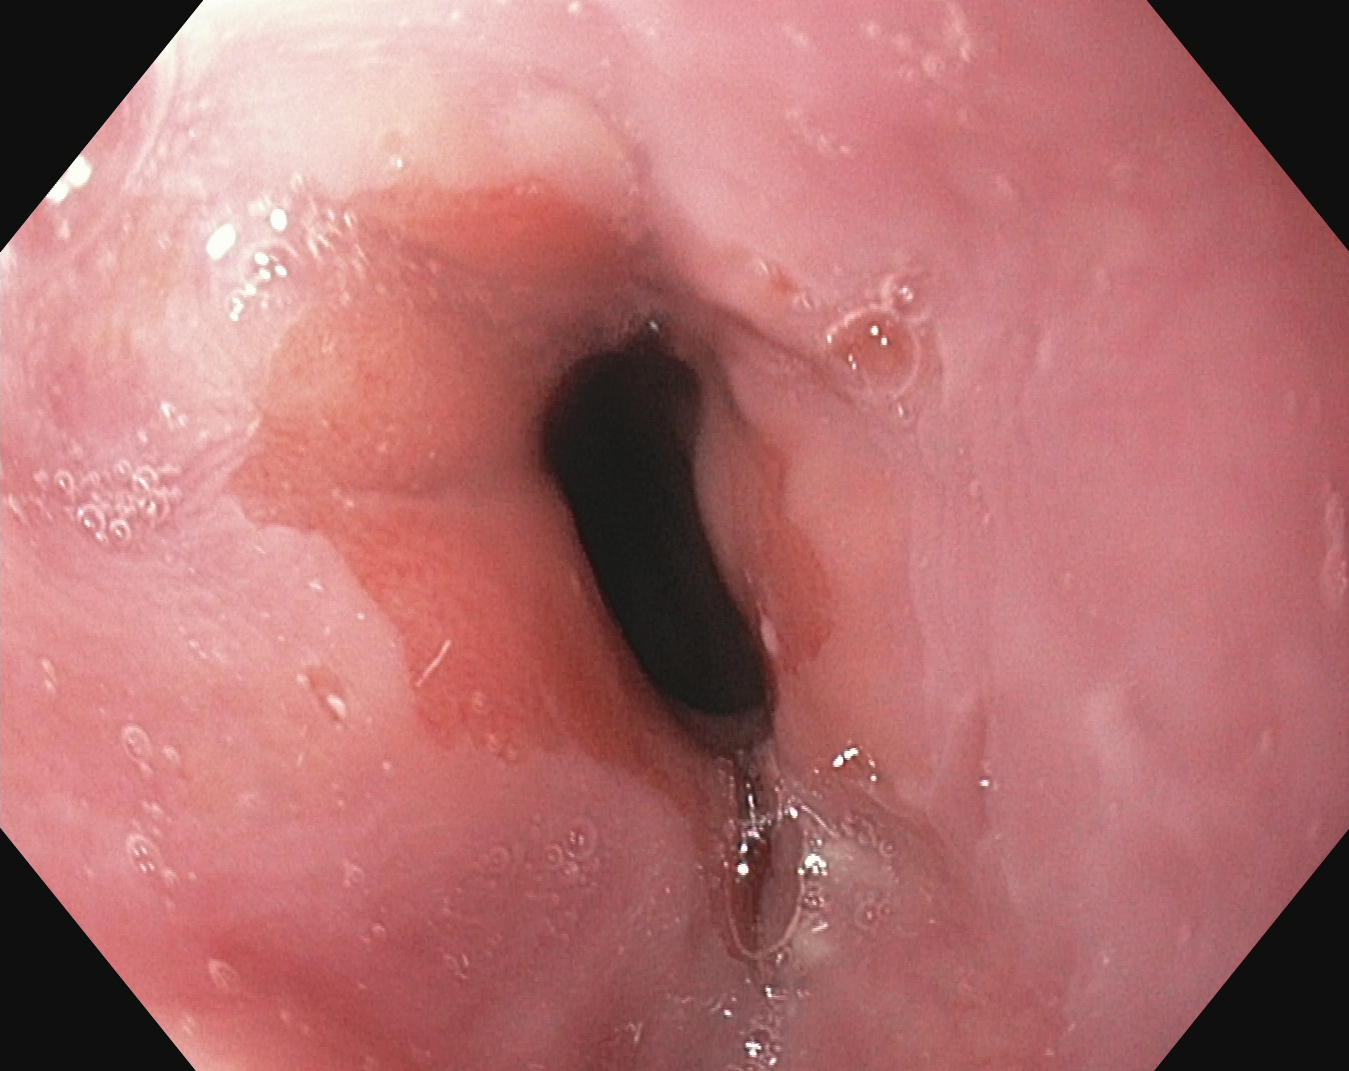modality: EGD; tract: upper GI tract; category: anatomical landmark; finding: Z-line (gastroesophageal junction)